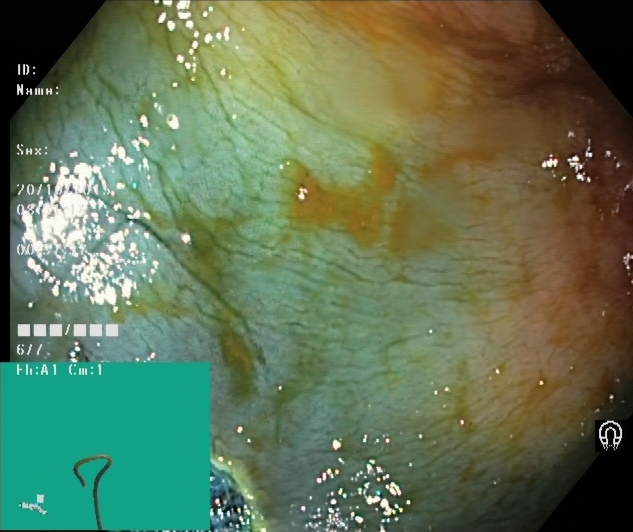Dyed resection margins (post-polypectomy).